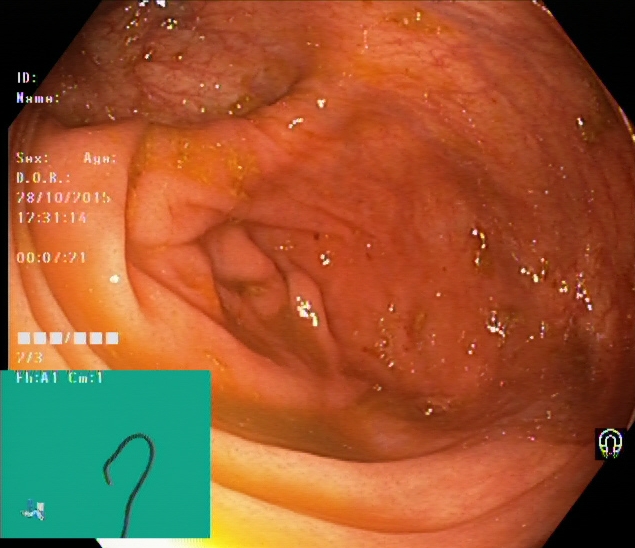Endoscopic image of the lower GI tract showing cecum.